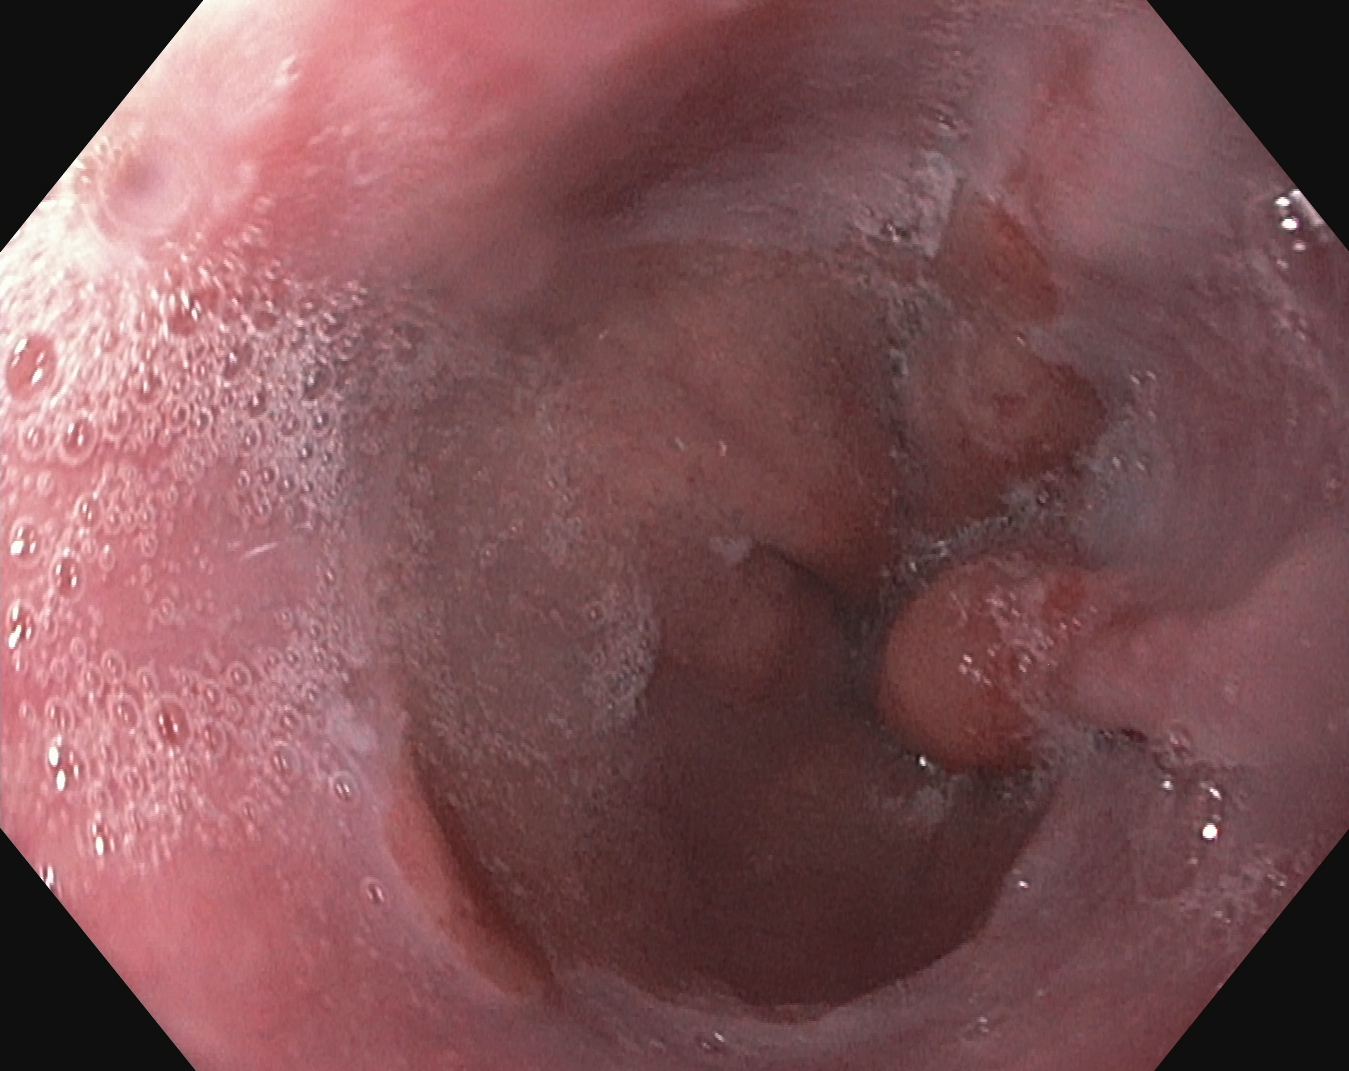modality: upper-GI endoscopy | tract: upper GI tract | finding: reflux esophagitis, LA grade A